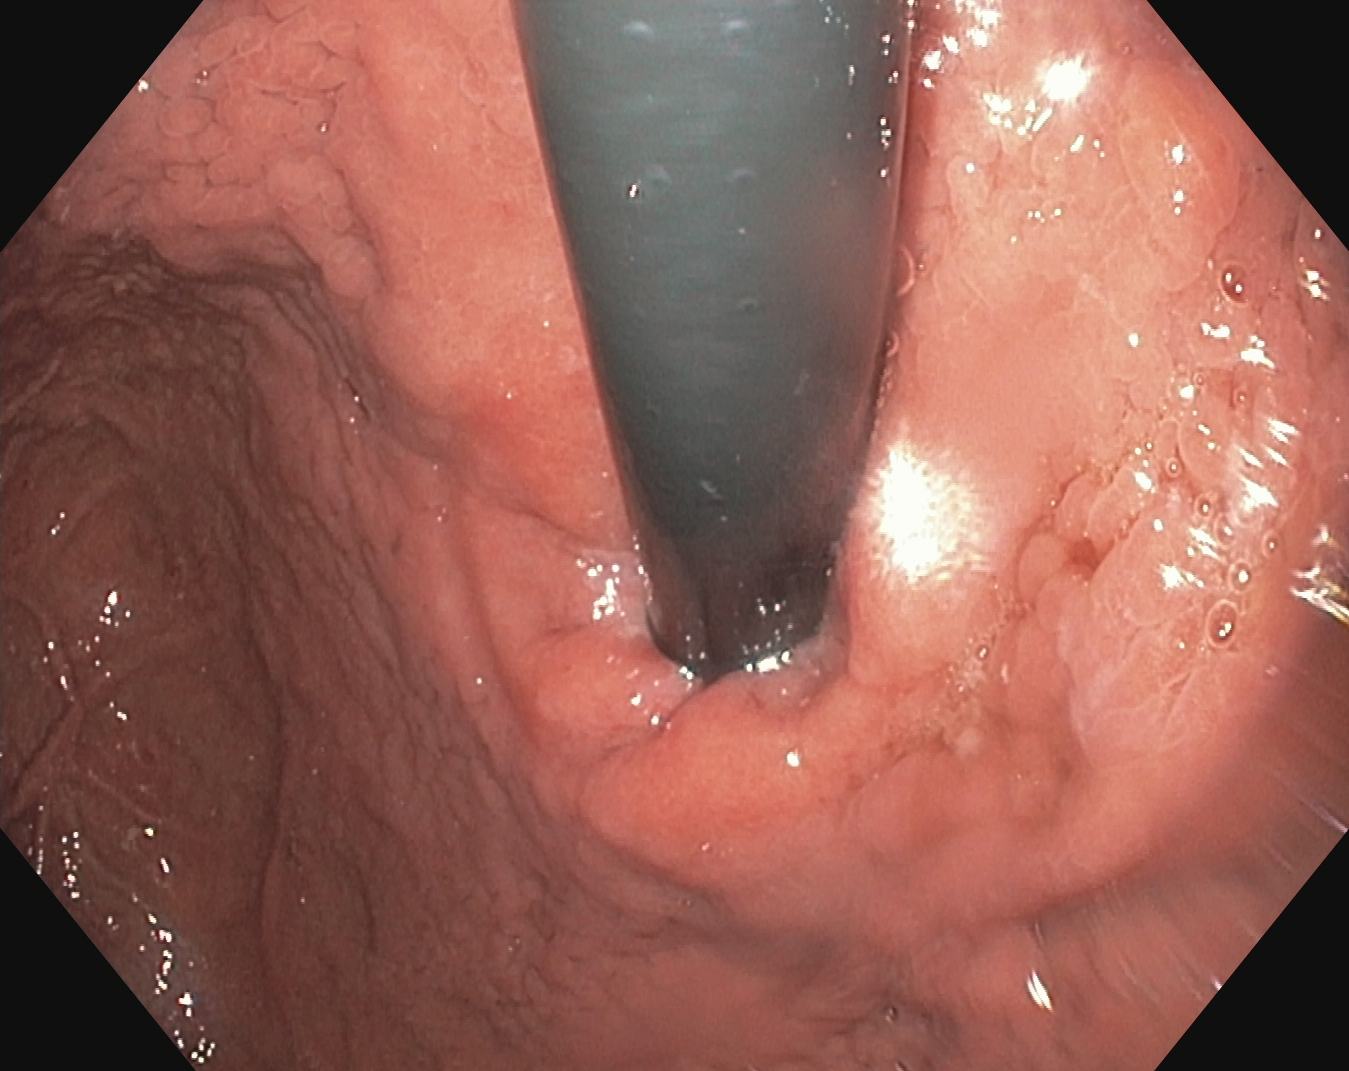Stomach in retroflexion.